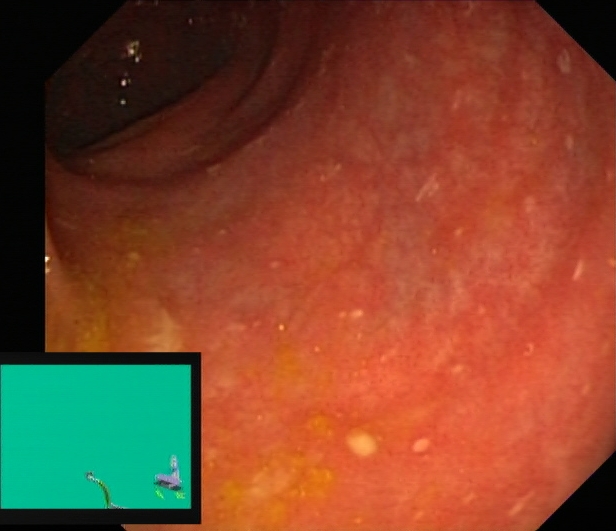Lower gastrointestinal endoscopy — ulcerative colitis, Mayo endoscopic subscore 1–2.